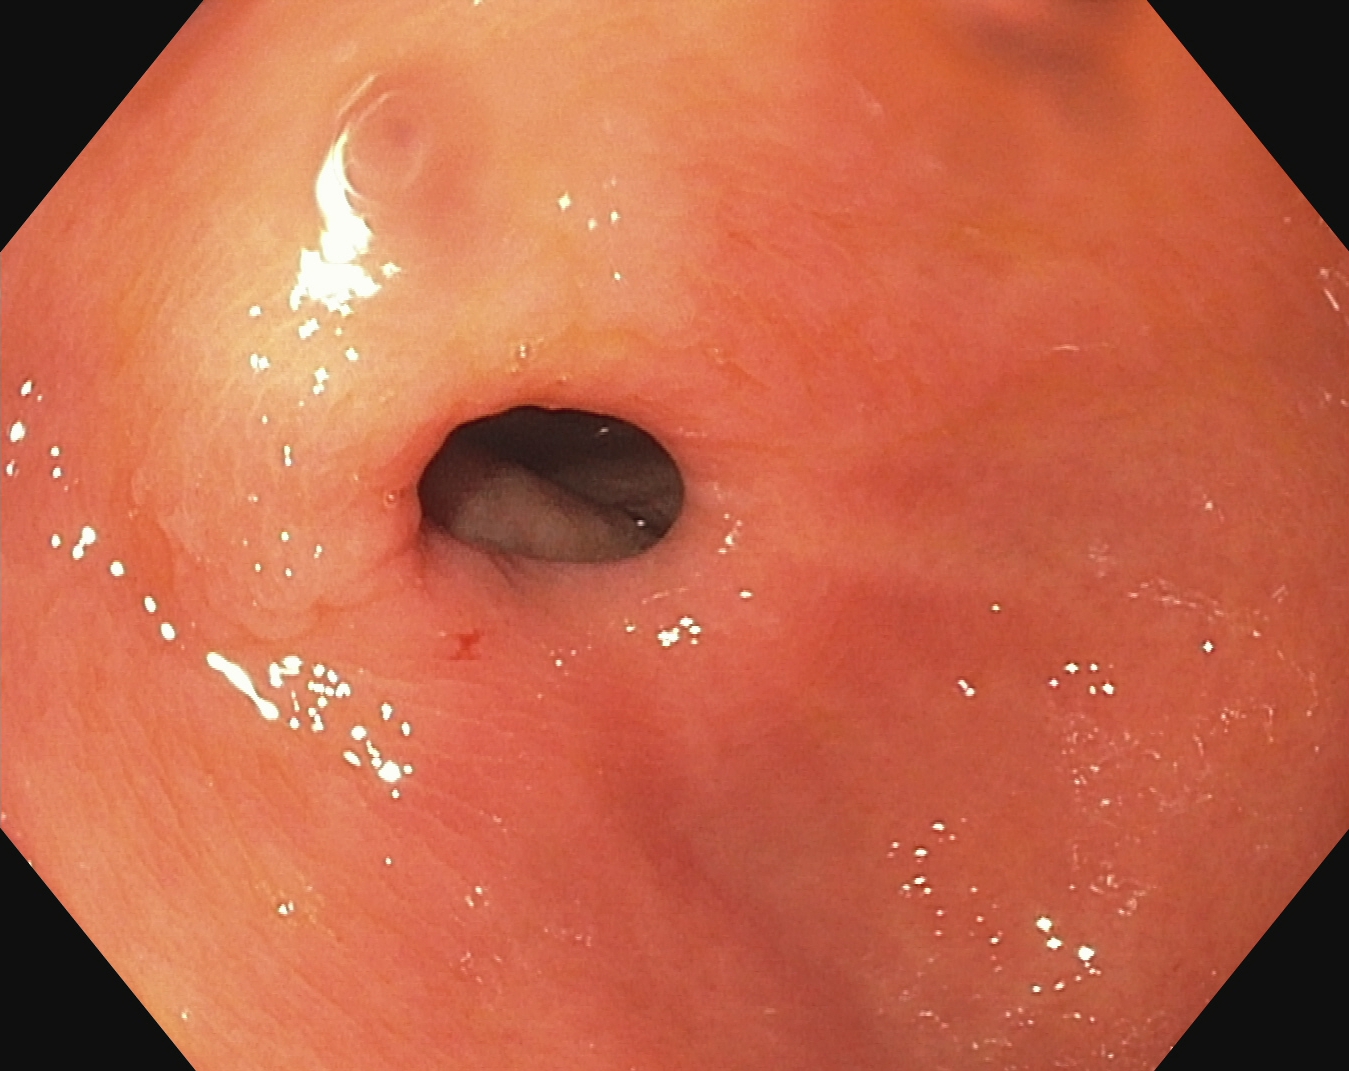This endoscopy frame of the upper GI tract shows pylorus.